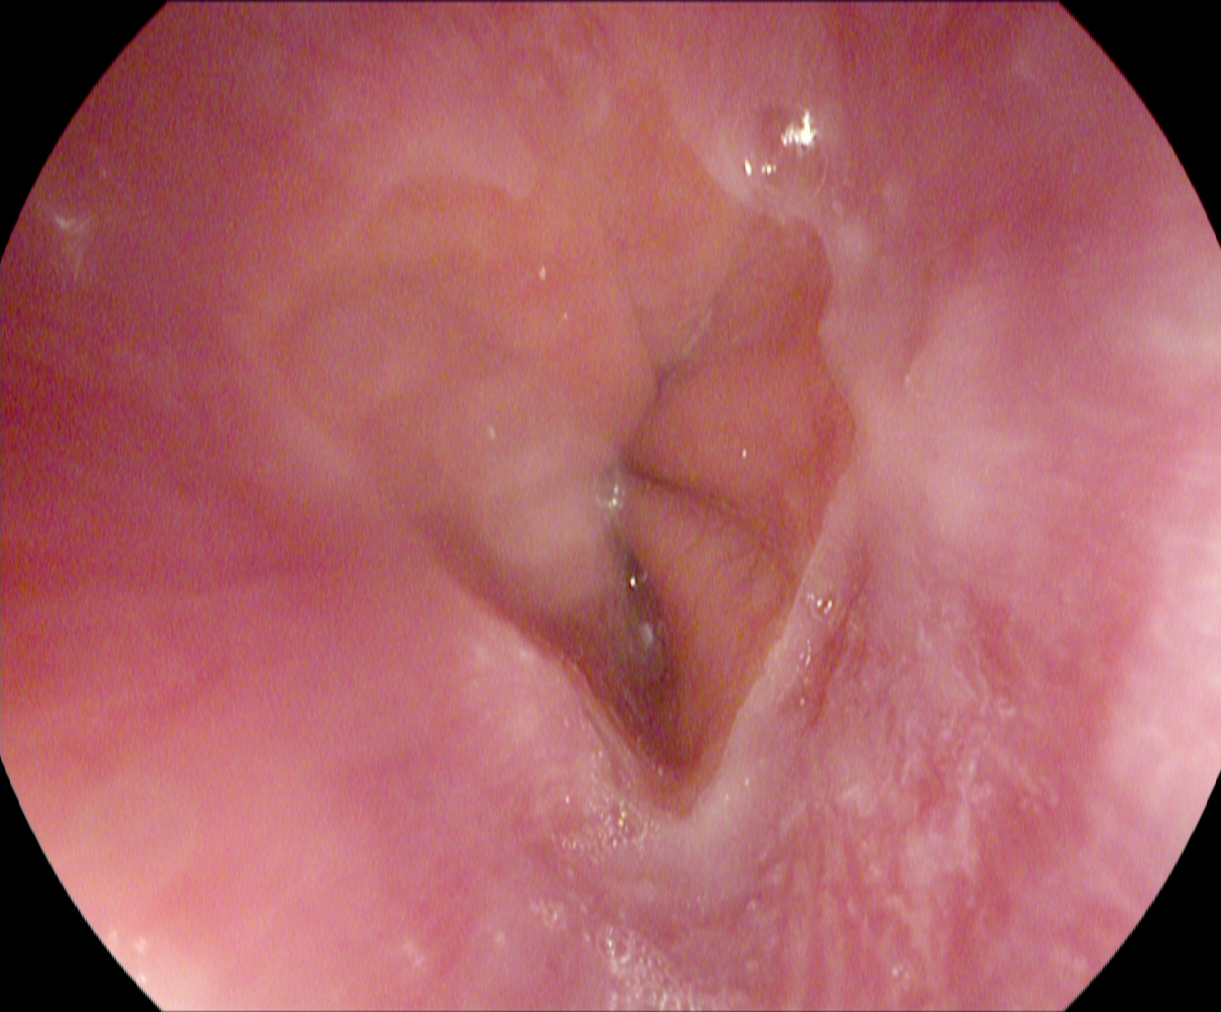modality: gastroscopy | finding: Z-line (gastroesophageal junction)